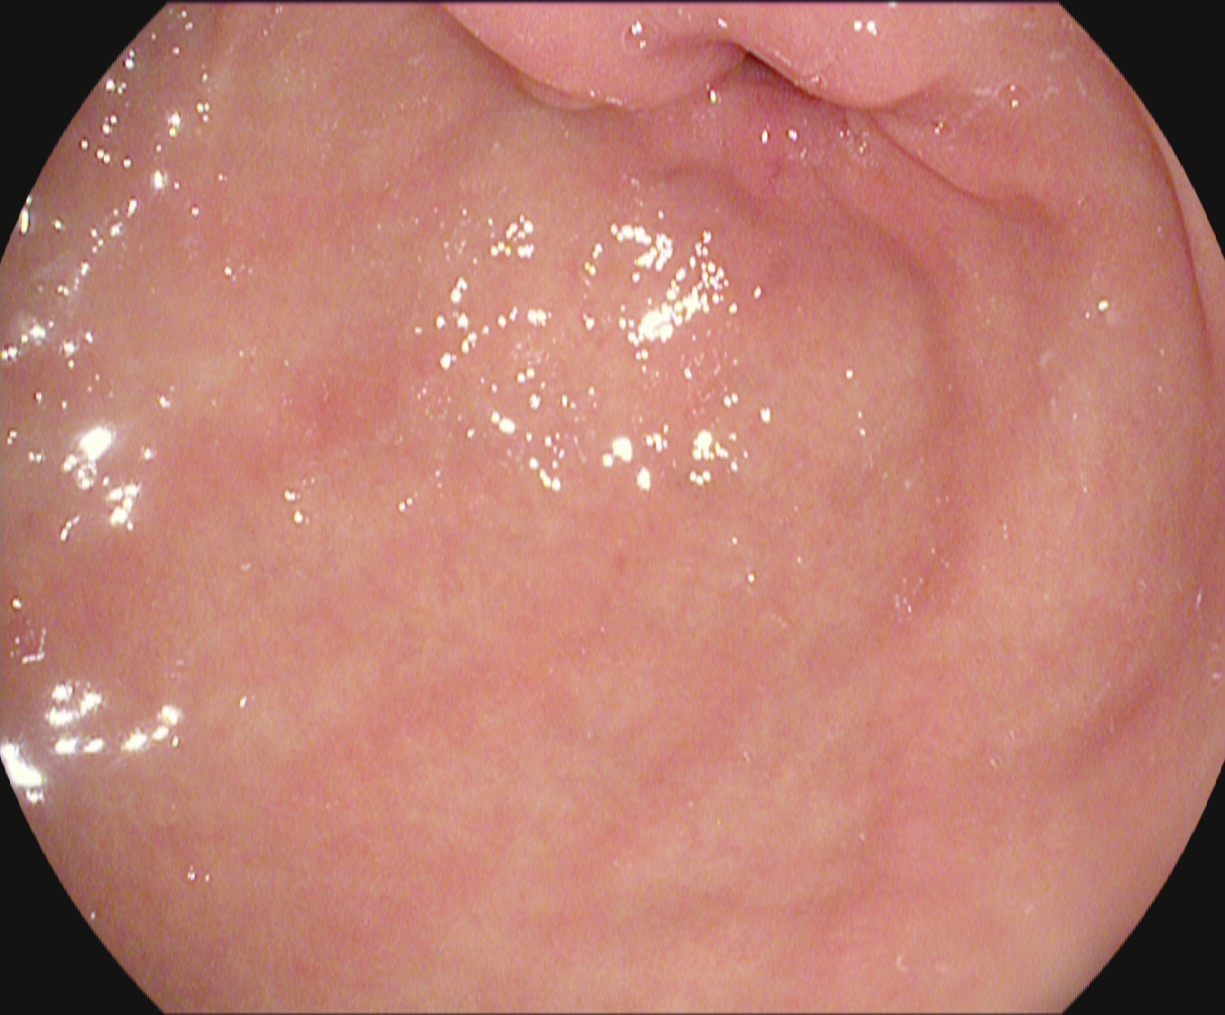{"modality": "esophagogastroduodenoscopy", "tract": "upper GI tract", "finding": "pylorus"}